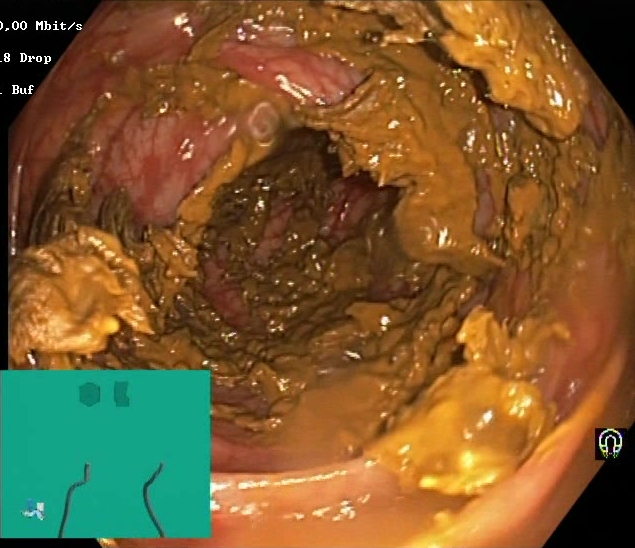Gastrointestinal endoscopy image showing Boston Bowel Preparation Scale score 0–1 (inadequate preparation).